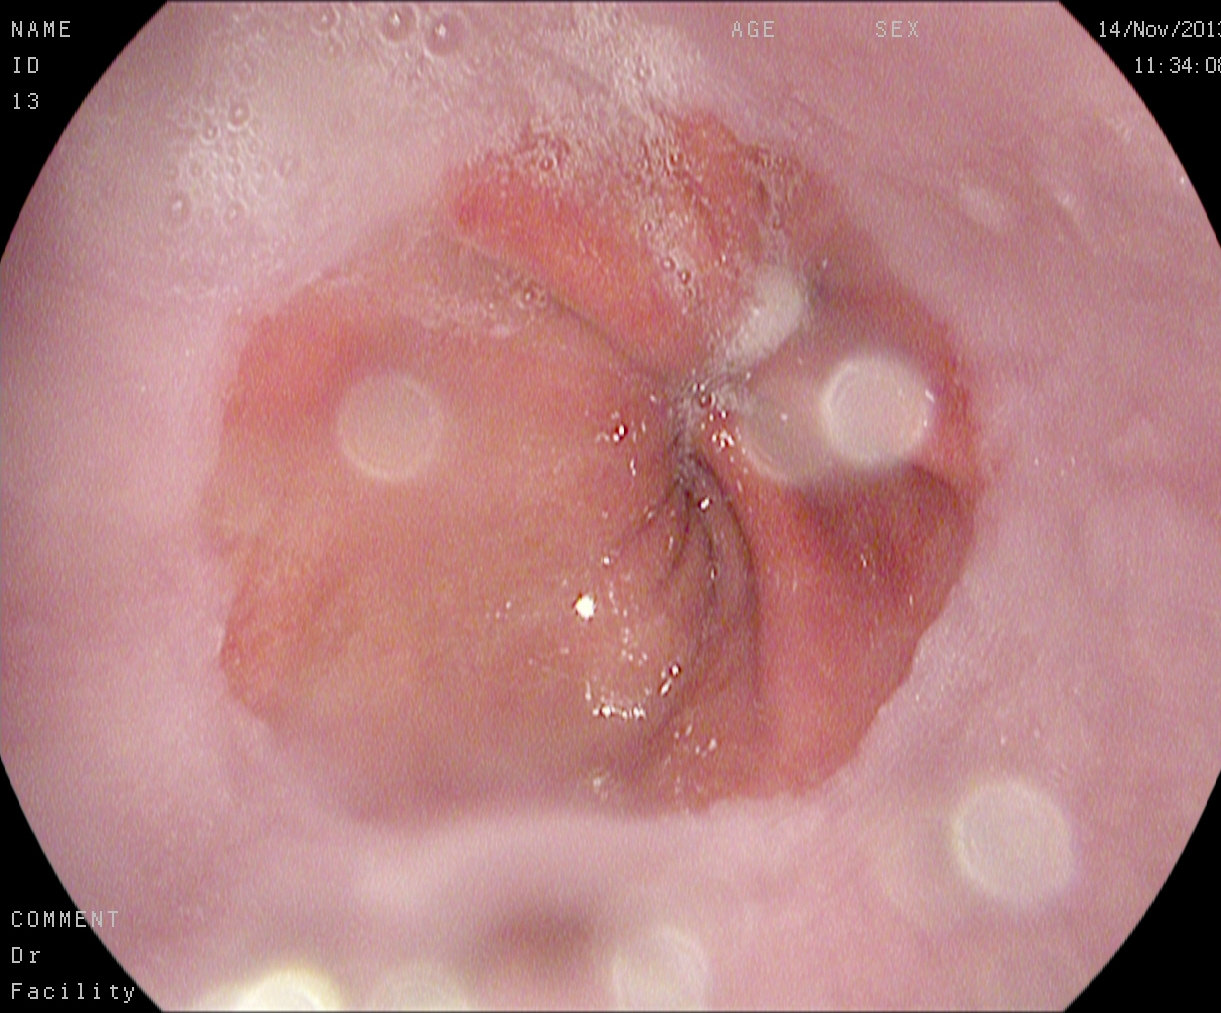{"modality": "esophagogastroduodenoscopy", "tract": "upper GI tract", "category": "anatomical landmark", "finding": "Z-line (gastroesophageal junction)"}